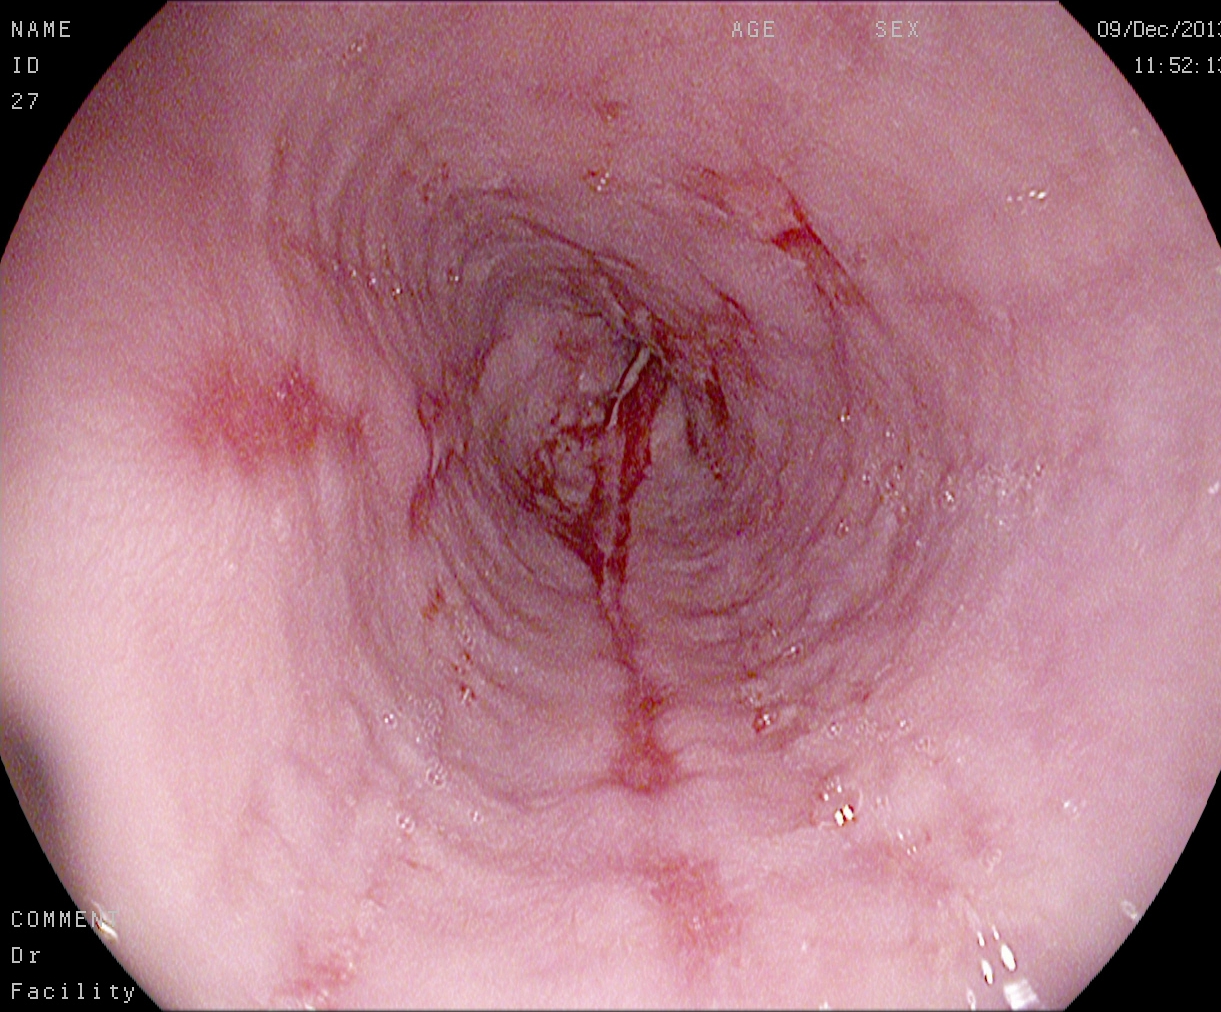EGD. Tract: upper GI tract. Finding: reflux esophagitis, LA grade B–D.